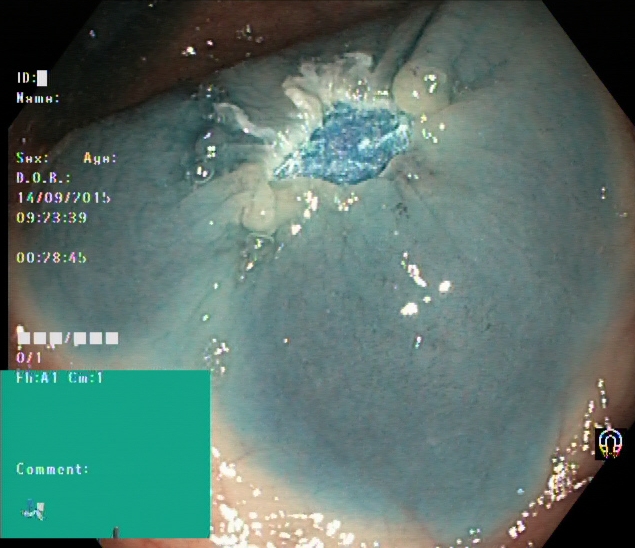{"modality": "lower gastrointestinal endoscopy", "tract": "lower GI tract", "finding": "dyed resection margins (post-polypectomy)"}